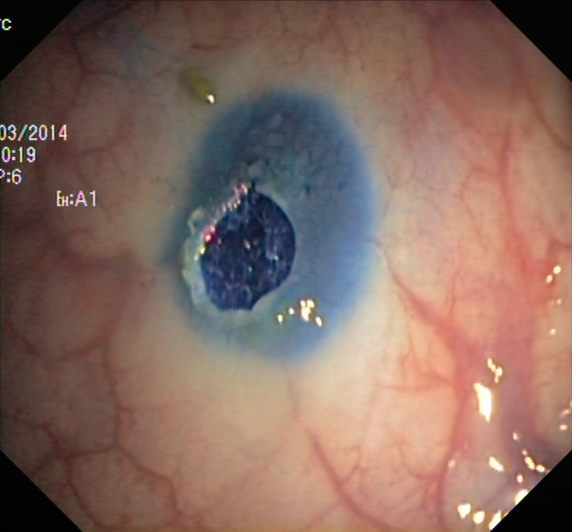modality: lower gastrointestinal endoscopy | tract: lower GI tract | finding: dyed resection margins (post-polypectomy)